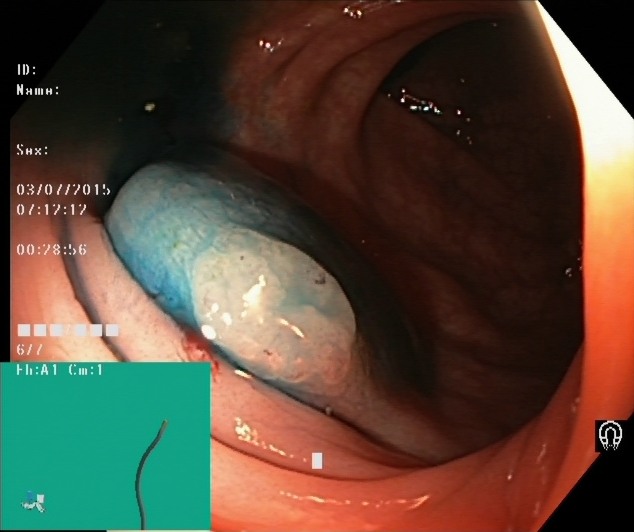This endoscopy frame of the lower GI tract shows dyed and lifted polyp (pre-resection).